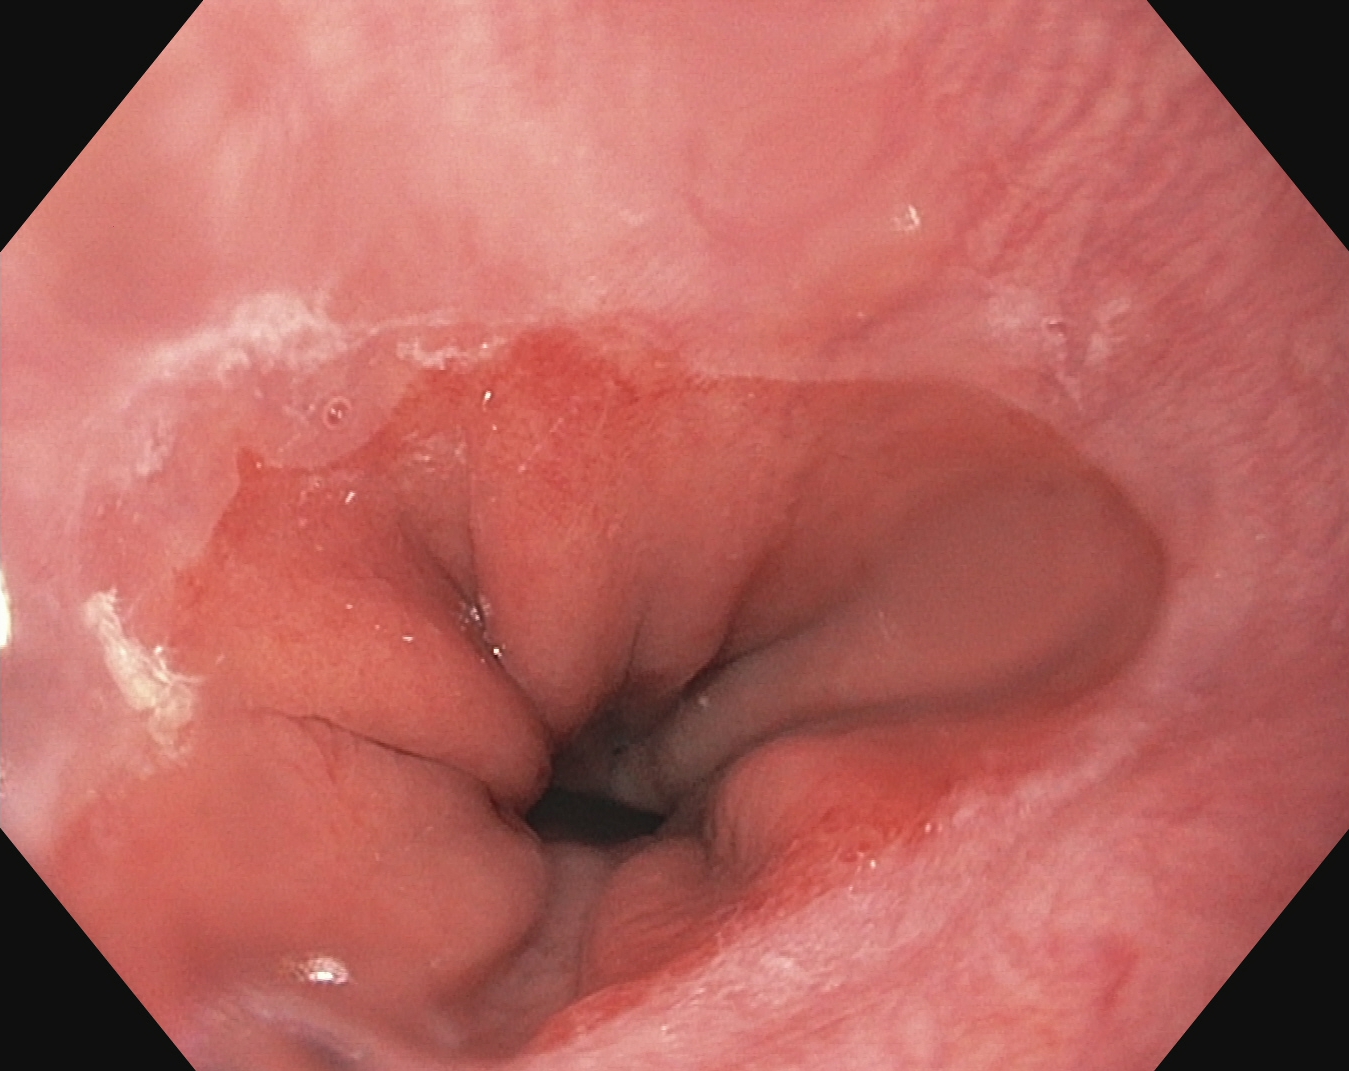Z-line (gastroesophageal junction).